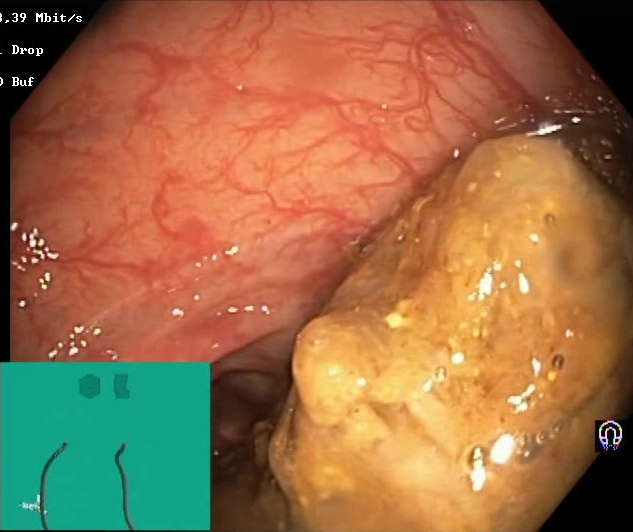Colonoscopy. Tract: lower GI tract. Finding: Boston Bowel Preparation Scale score 0–1 (inadequate preparation).